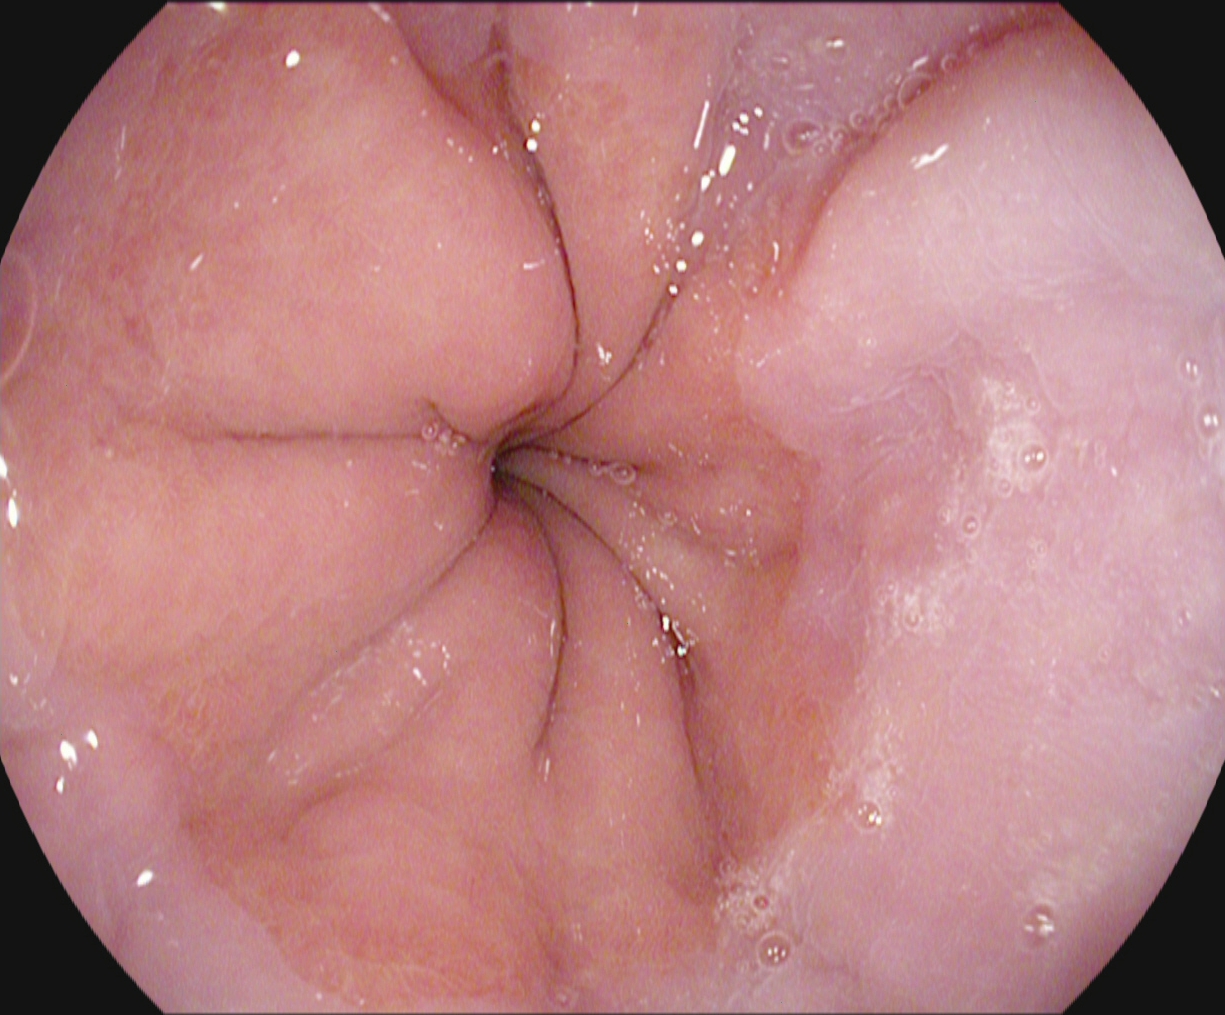{"modality": "upper-GI endoscopy", "tract": "upper GI tract", "finding": "Z-line (gastroesophageal junction)"}